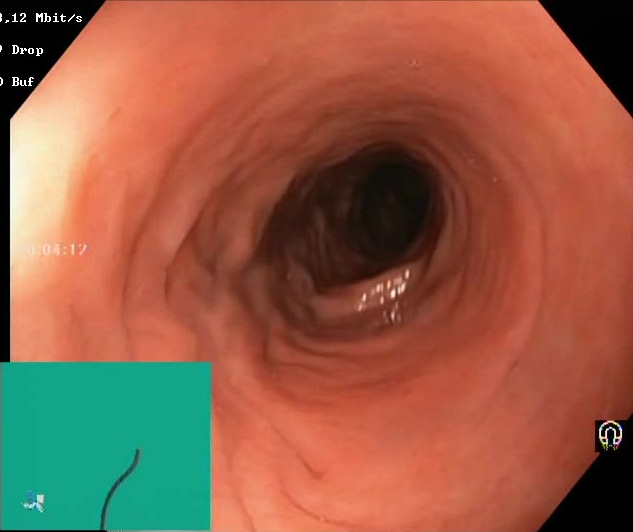Colonoscopy. Tract: lower GI tract. Finding: Boston Bowel Preparation Scale score 2–3 (adequate preparation).